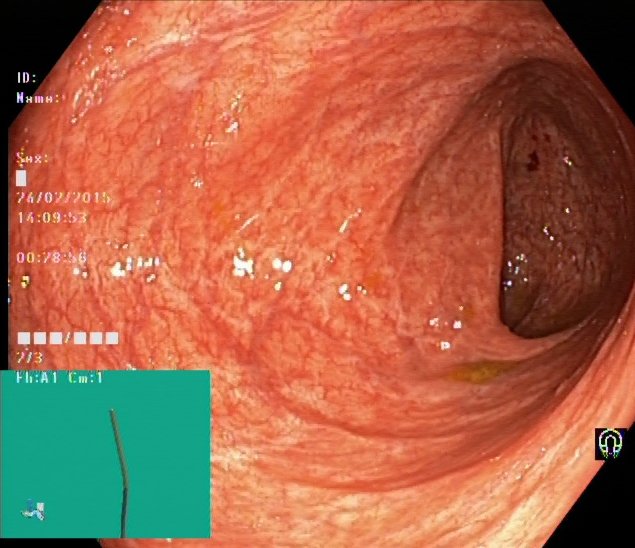This endoscopic image of the lower GI tract shows ulcerative colitis, Mayo endoscopic subscore 0–1.